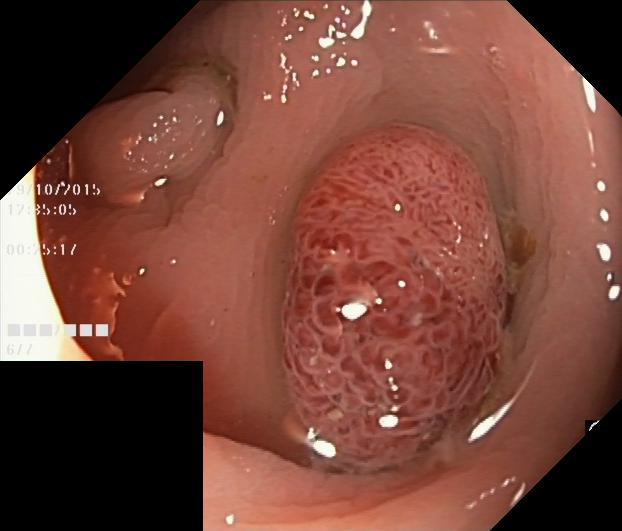This endoscopy frame shows colorectal polyp(s).